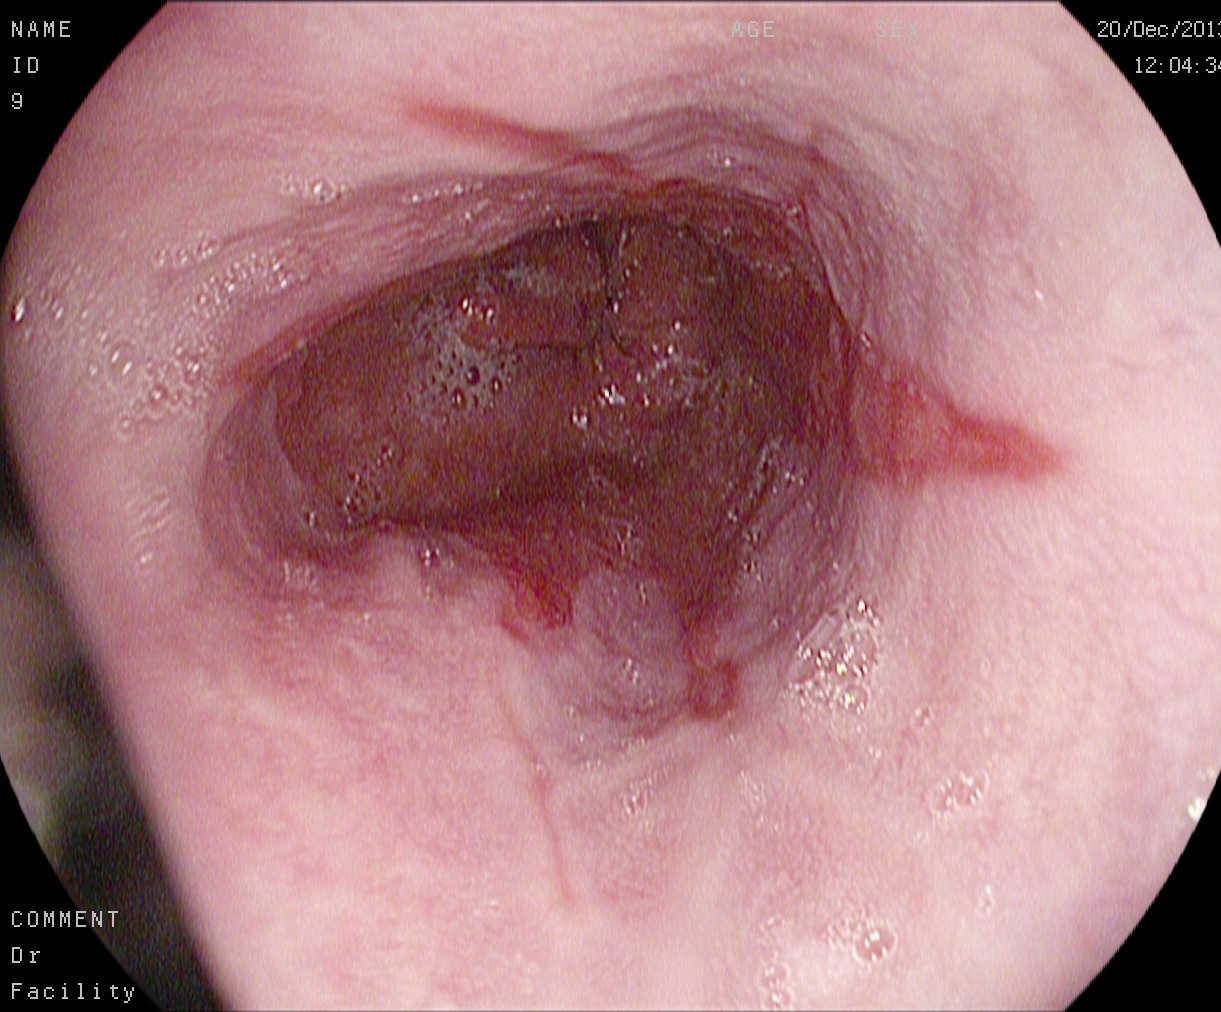Esophagogastroduodenoscopy. Tract: upper GI tract. Finding: reflux esophagitis, Los Angeles grade B–D.